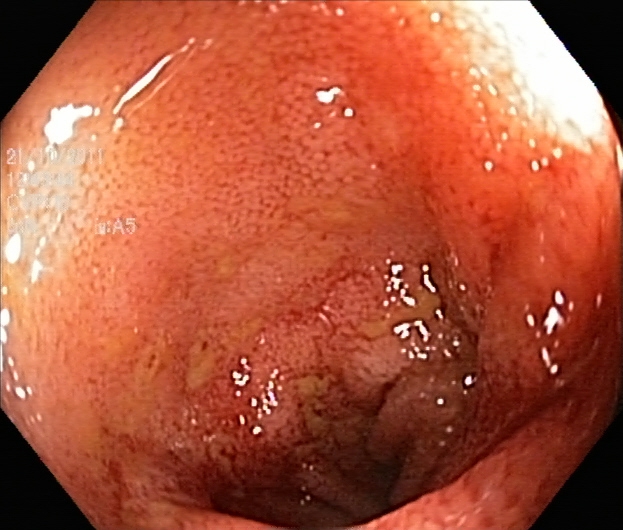GI endoscopy image showing ulcerative colitis, Mayo endoscopic subscore 2–3.